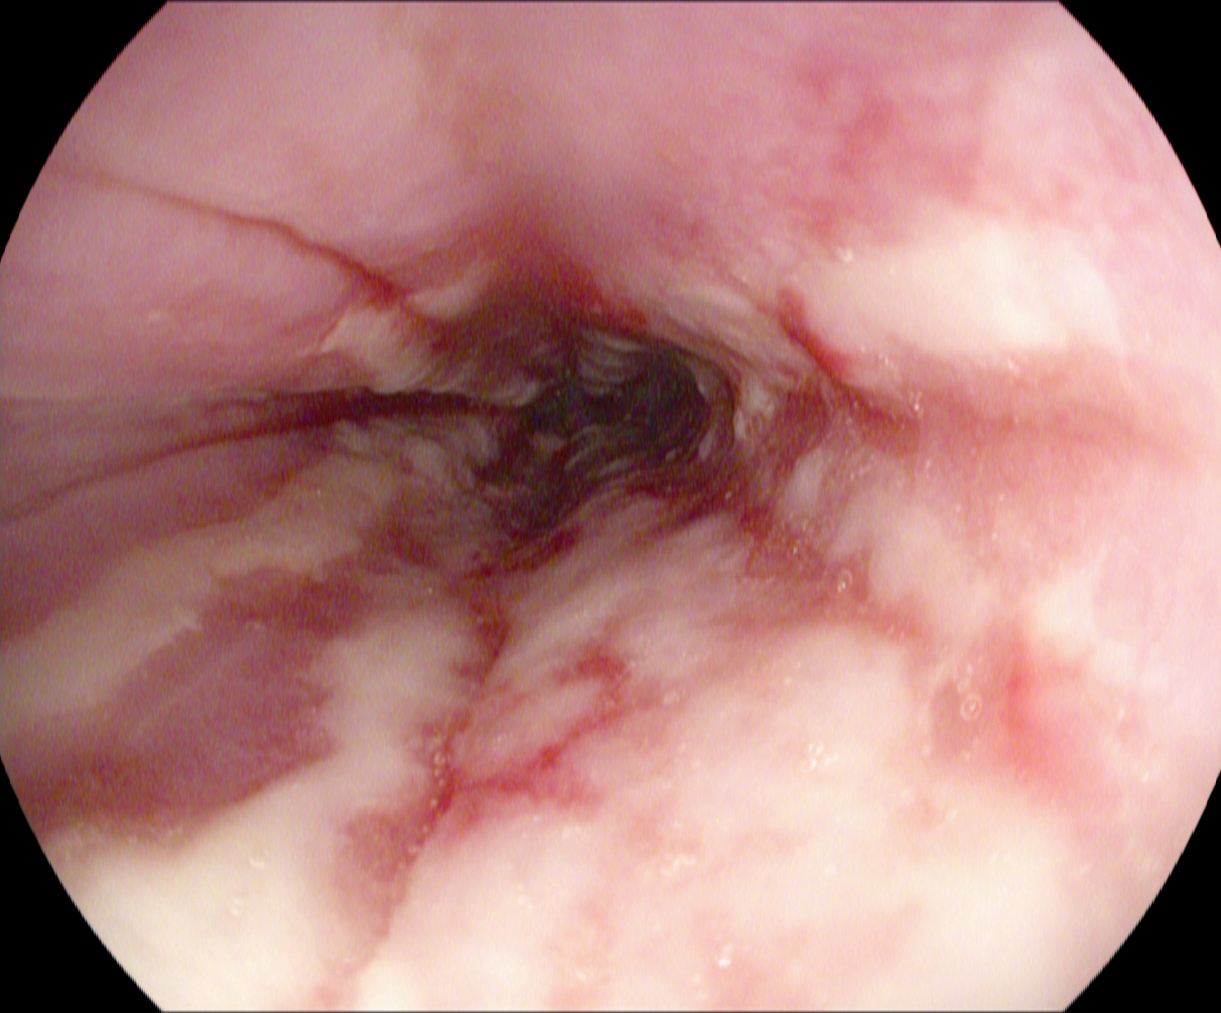Reflux esophagitis, LA grade B–D.